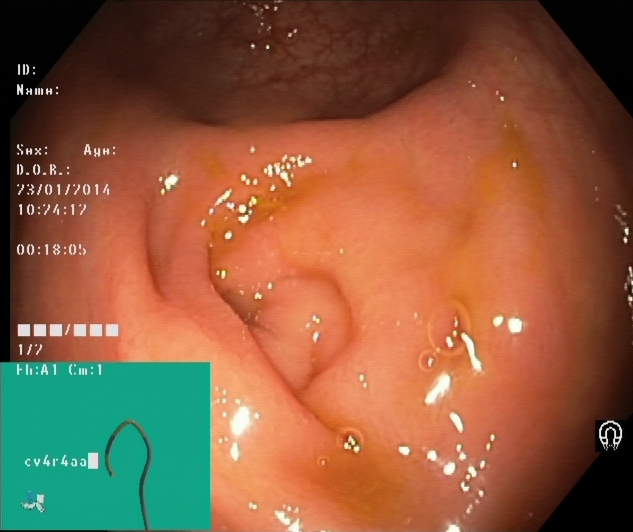This endoscopy frame of the lower GI tract shows cecum.